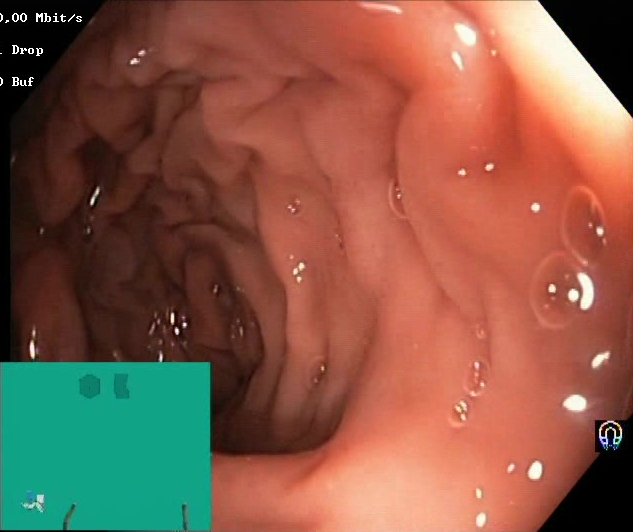modality: lower-GI endoscopy | finding: Boston Bowel Preparation Scale score 2–3 (adequate preparation)